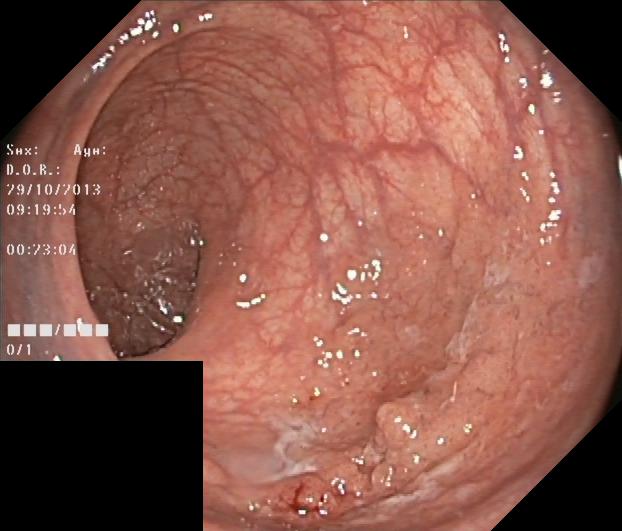Lower gastrointestinal endoscopy. Pathological finding. Finding: colorectal polyp(s).